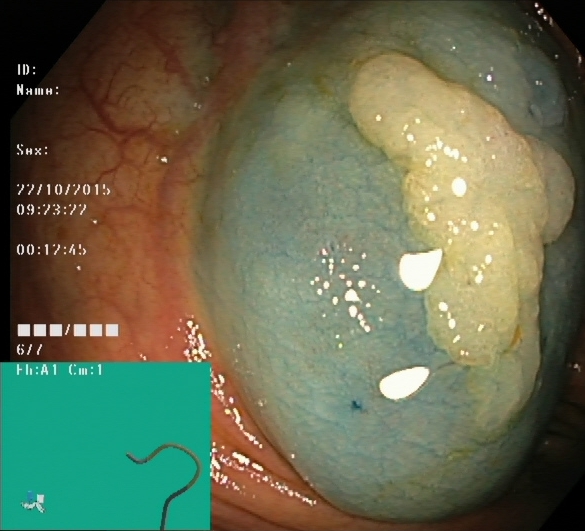Dyed and lifted polyp (pre-resection).